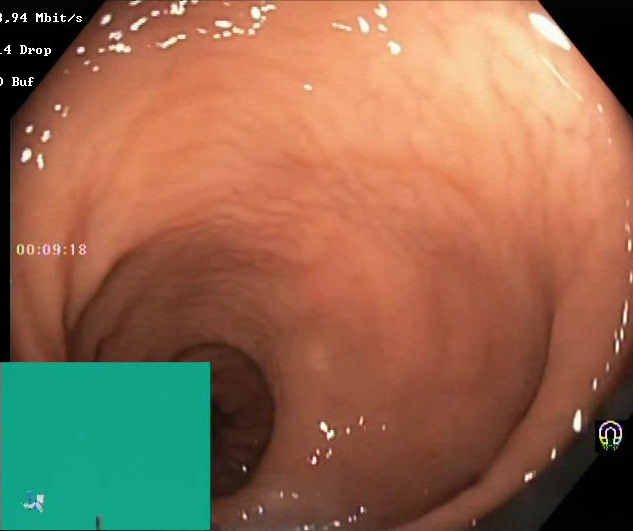modality: colonoscopy
finding: Boston Bowel Preparation Scale score 2–3 (adequate preparation)